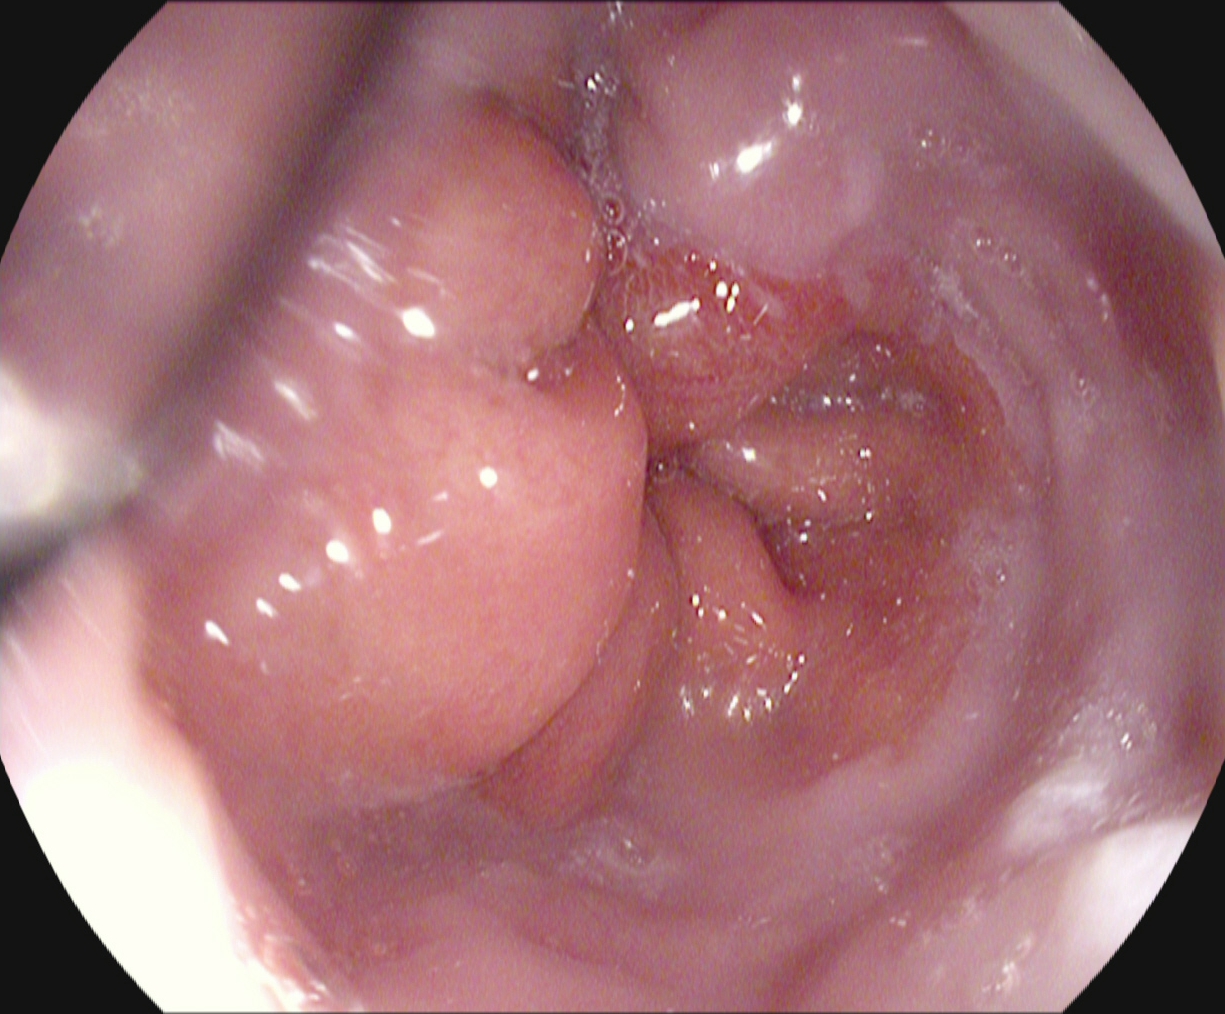This endoscopic image shows reflux esophagitis, Los Angeles grade A.